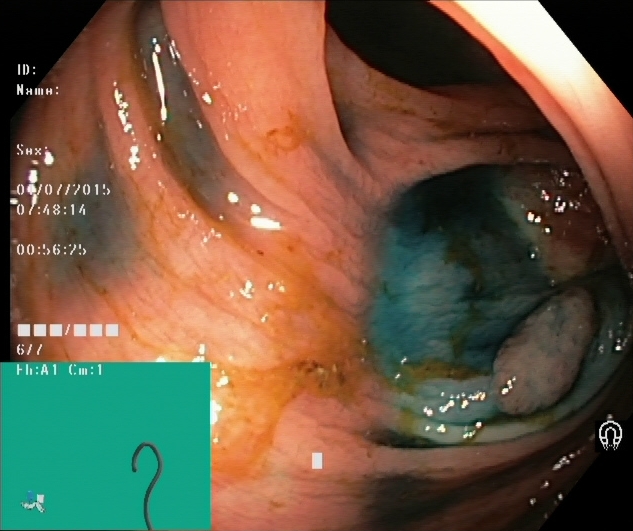modality: colonoscopy | tract: lower GI tract | finding: dyed and lifted polyp (pre-resection)